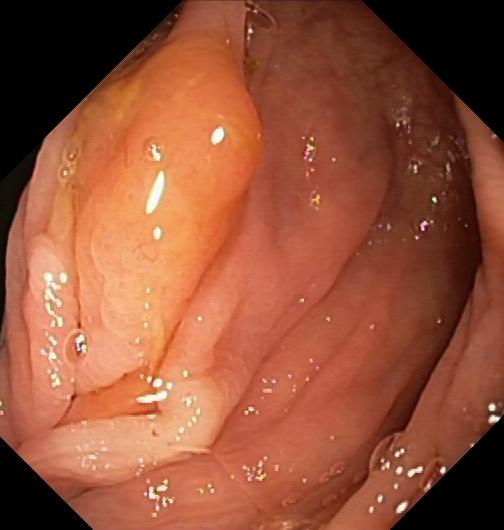Colorectal polyp(s).